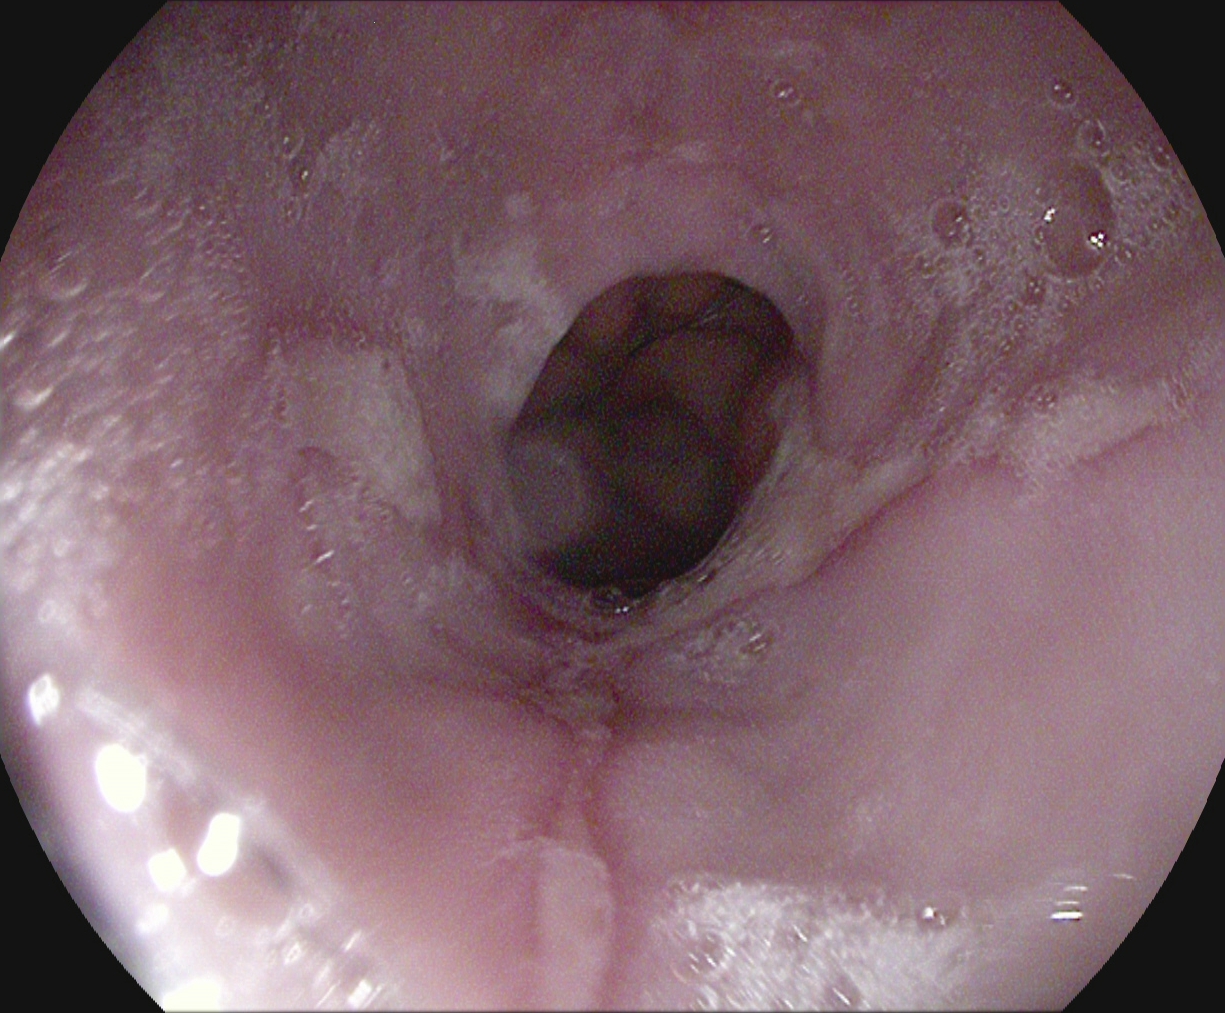{"modality": "EGD", "category": "pathological finding", "finding": "reflux esophagitis, Los Angeles grade B\u2013D"}